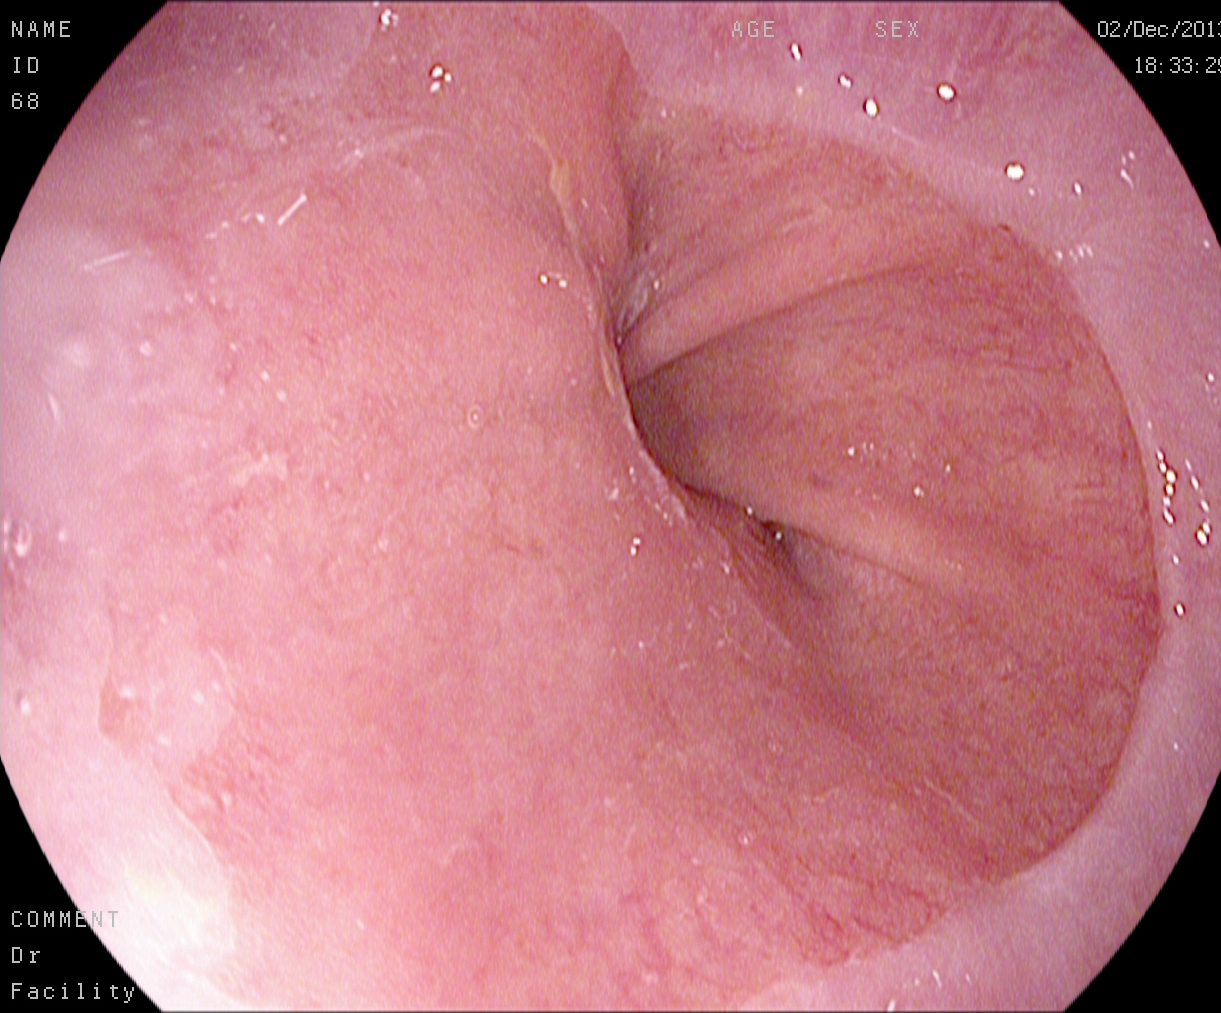EGD image showing Z-line (gastroesophageal junction).